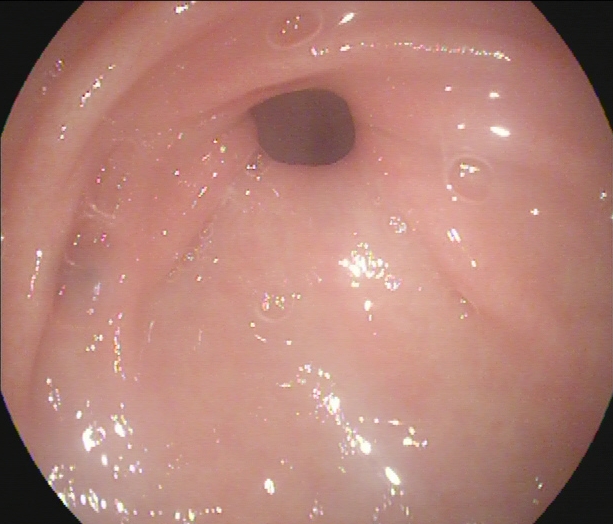This endoscopy frame shows pylorus.